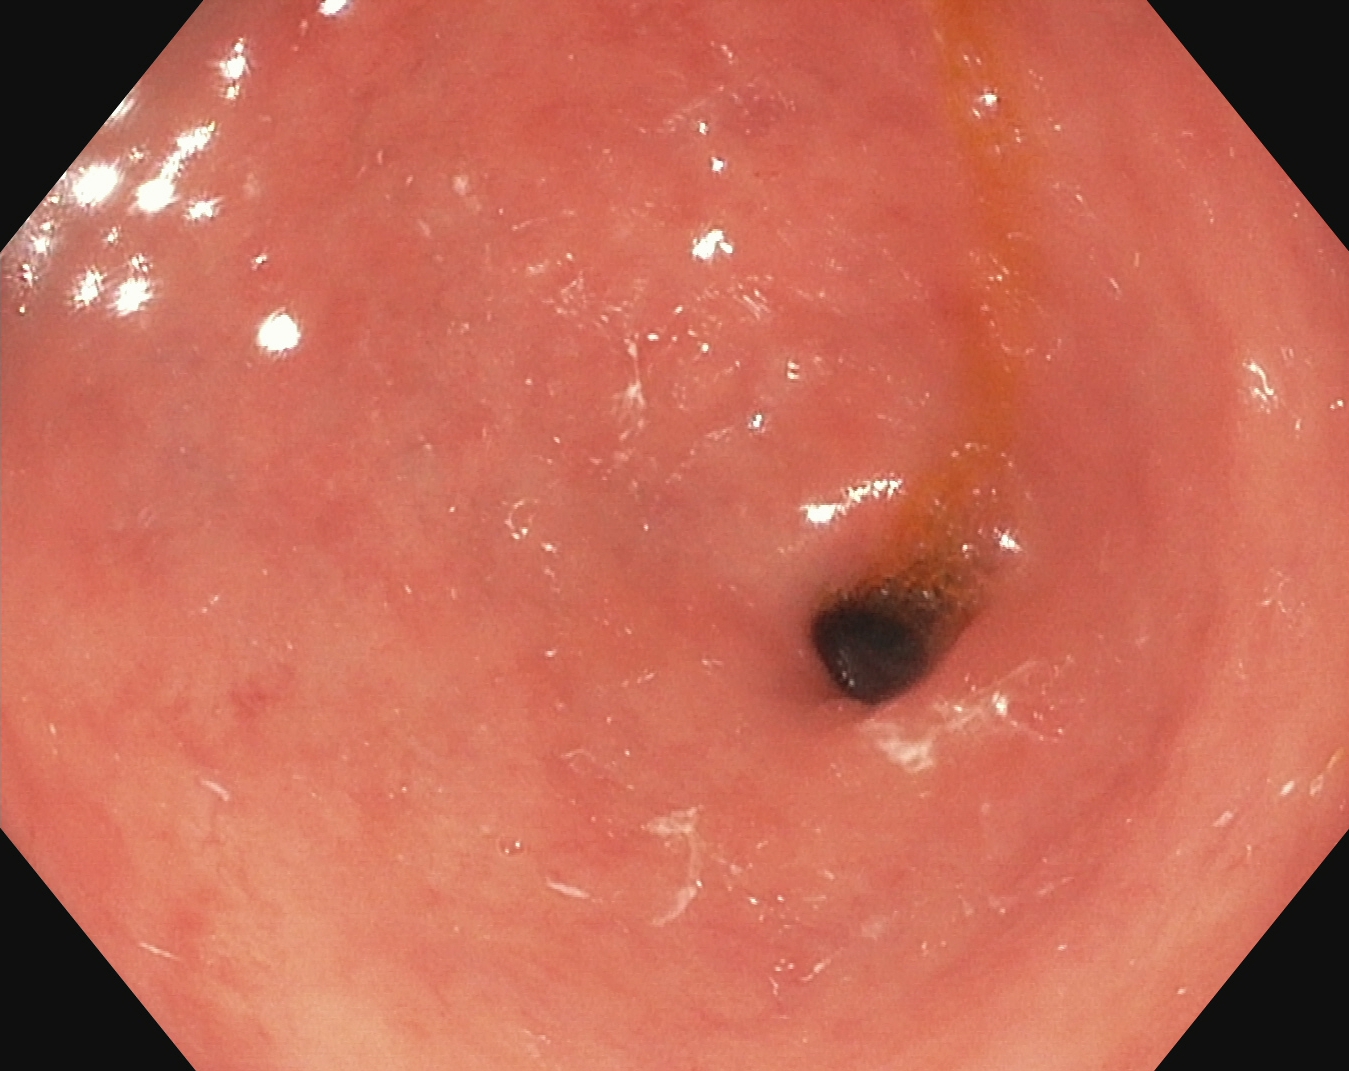Esophagogastroduodenoscopy. Finding: pylorus.